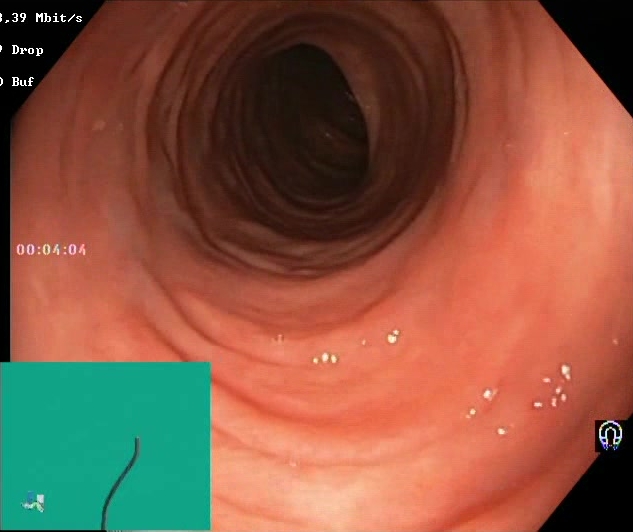{"modality": "lower-GI endoscopy", "tract": "lower GI tract", "category": "mucosal-view quality", "finding": "BBPS score 2\u20133 (adequate preparation)"}